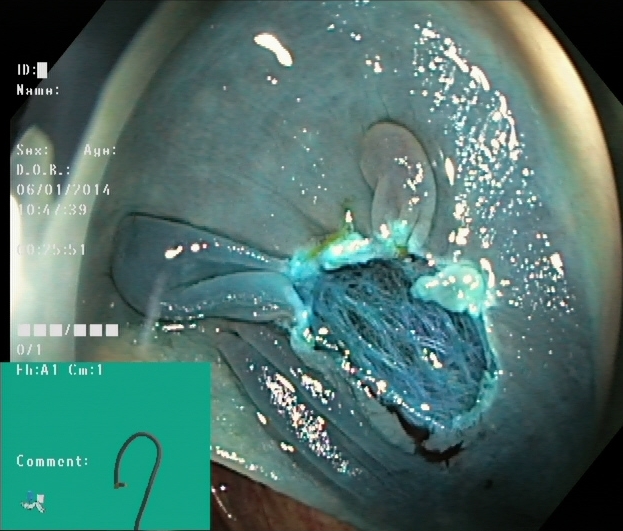PROCEDURE: Lower gastrointestinal endoscopy.
CATEGORY: Therapeutic intervention.
FINDINGS: Dyed resection margins (post-polypectomy).